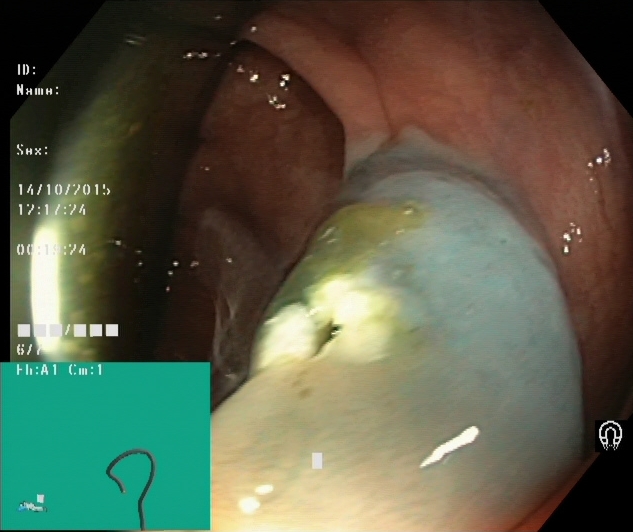dyed resection margins (post-polypectomy).